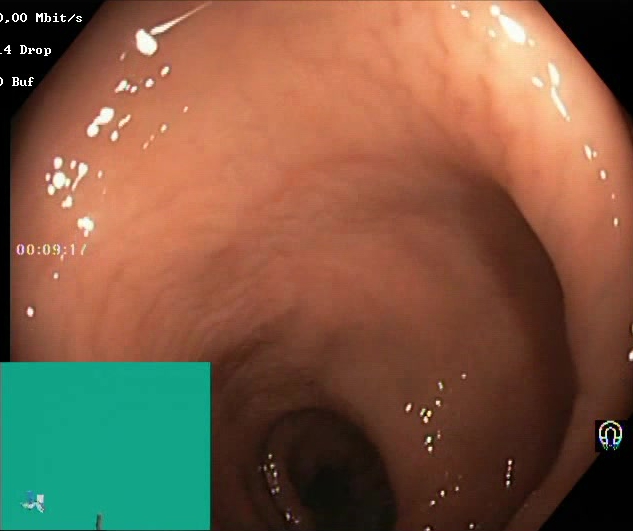modality: lower-GI endoscopy; tract: lower GI tract; category: mucosal-view quality; finding: BBPS score 2–3 (adequate preparation)